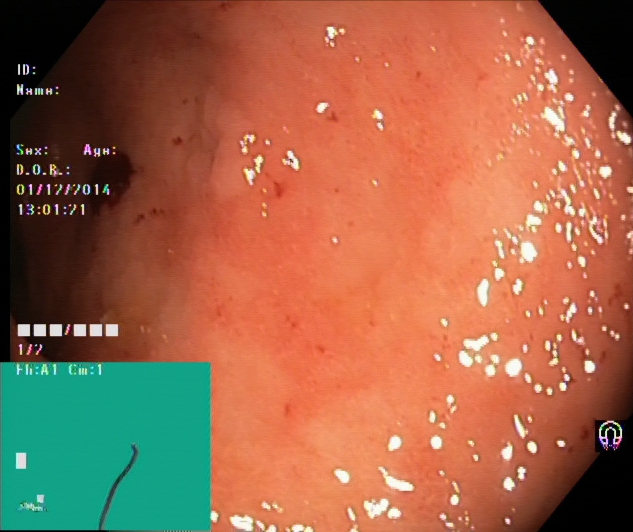Ulcerative colitis, Mayo endoscopic subscore 2.